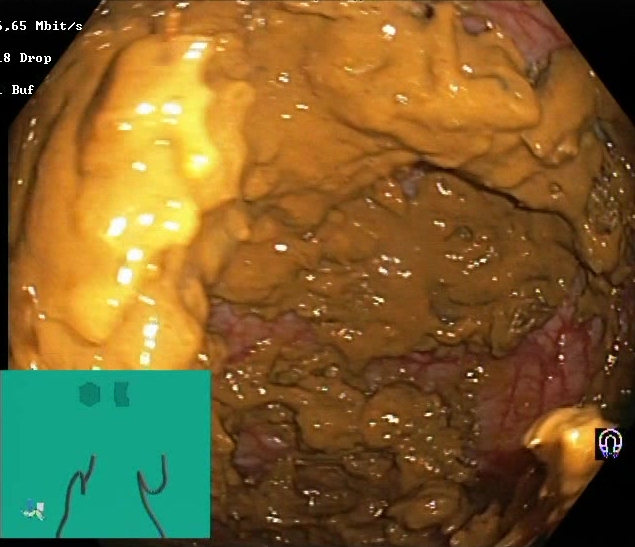modality: lower gastrointestinal endoscopy | tract: lower GI tract | finding: Boston Bowel Preparation Scale score 0–1 (inadequate preparation)